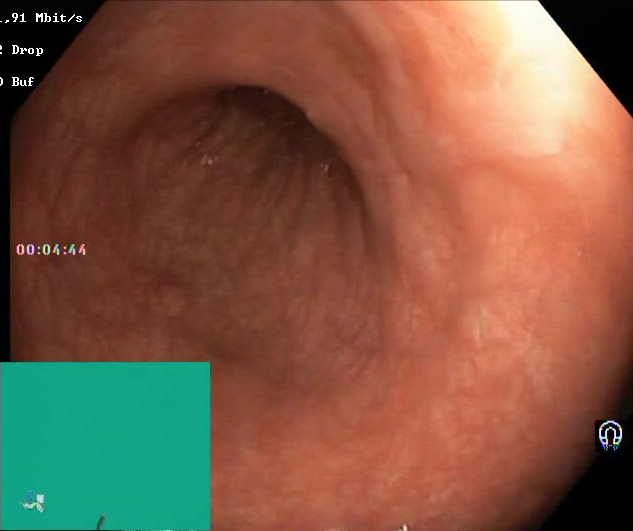PROCEDURE: Lower gastrointestinal endoscopy.
FINDINGS: Boston Bowel Preparation Scale score 2–3 (adequate preparation).